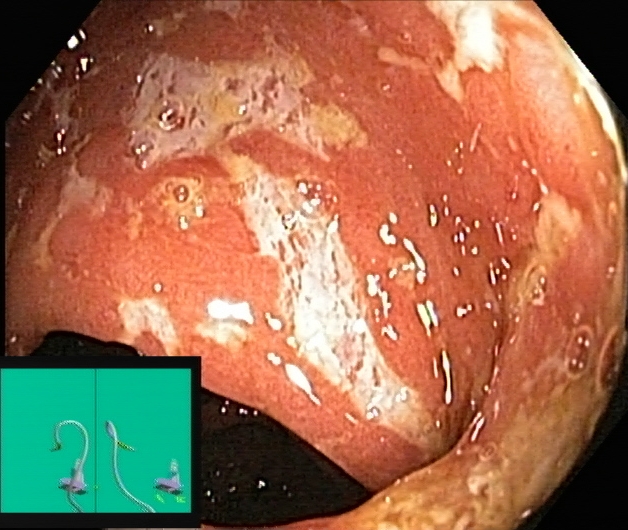{"modality": "lower-GI endoscopy", "tract": "lower GI tract", "finding": "UC, Mayo endoscopic subscore 3"}